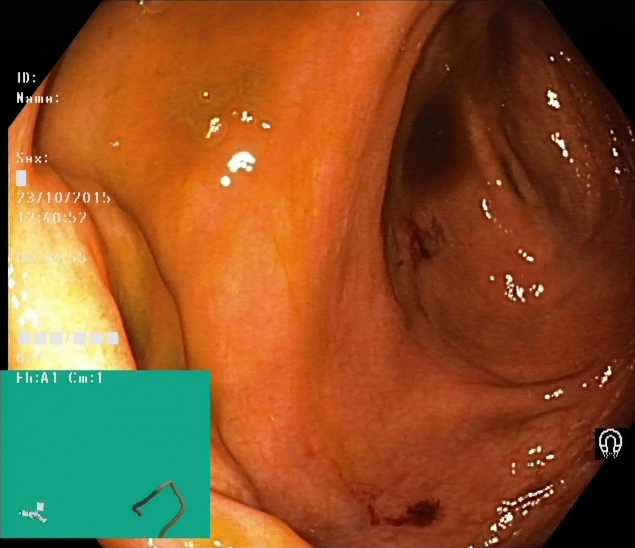Cecum.